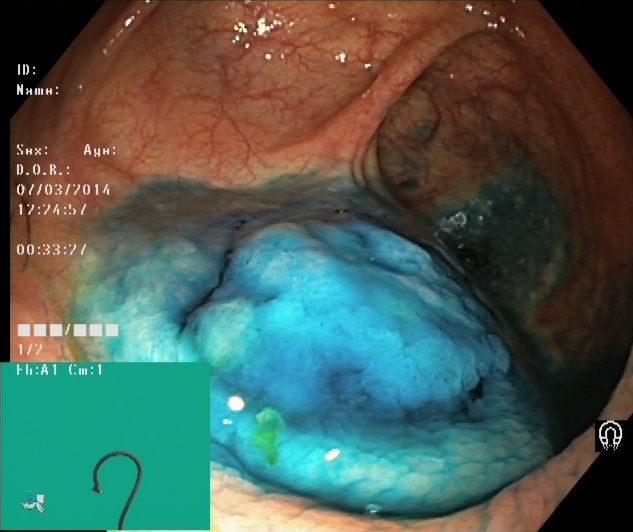{"modality": "lower gastrointestinal endoscopy", "tract": "lower GI tract", "category": "therapeutic intervention", "finding": "dyed and lifted polyp (pre-resection)"}